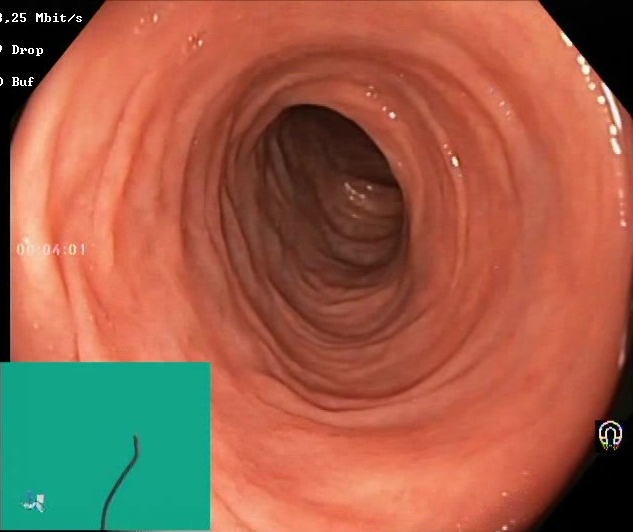Endoscopic image of the lower GI tract showing BBPS score 2–3 (adequate preparation).